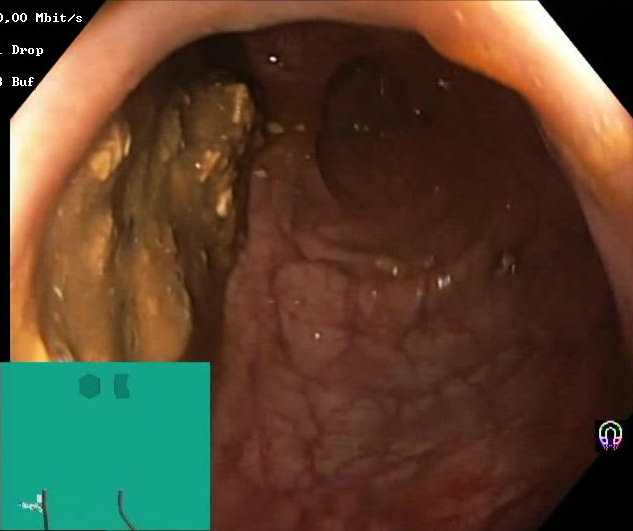PROCEDURE: Colonoscopy.
FINDINGS: Boston Bowel Preparation Scale score 0–1 (inadequate preparation).